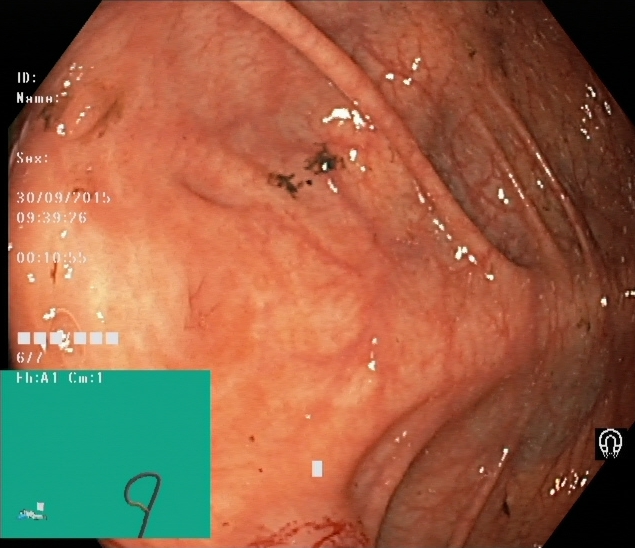Lower gastrointestinal endoscopy. Tract: lower GI tract. Finding: cecum.